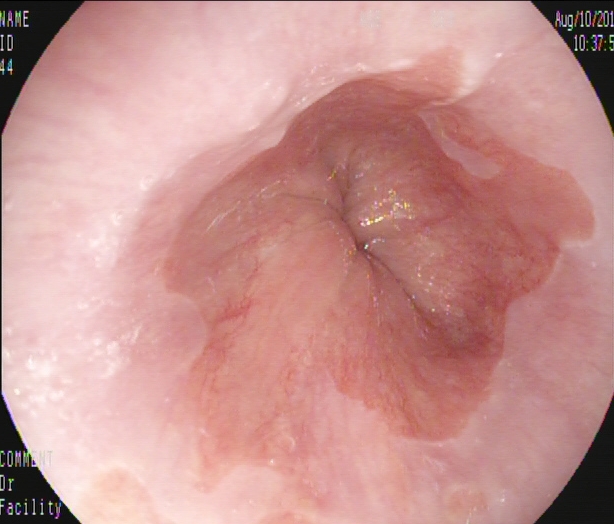Endoscopic frame showing Barrett's esophagus, short segment.